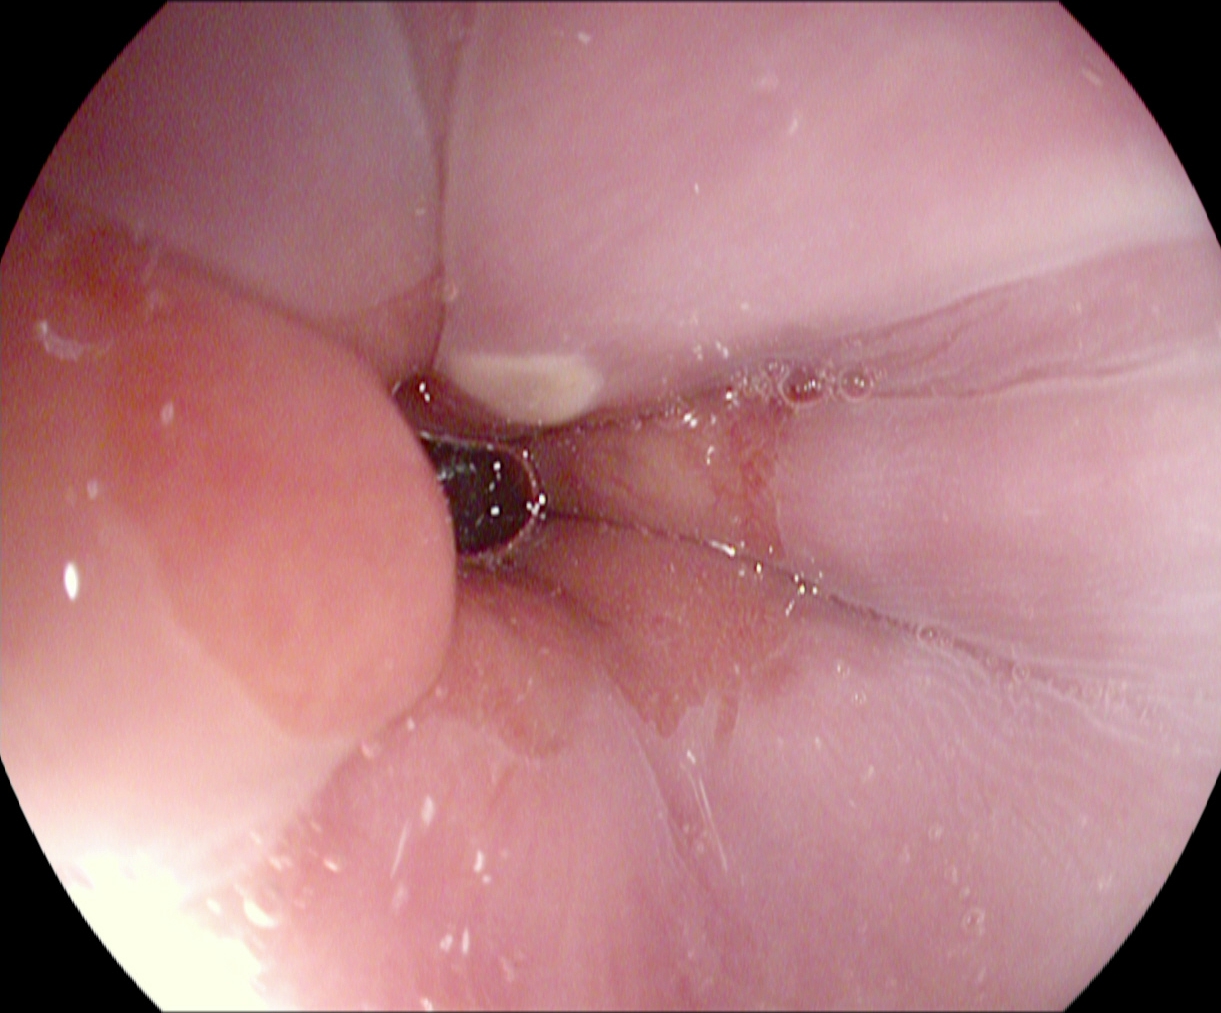{"modality": "esophagogastroduodenoscopy", "finding": "Z-line (gastroesophageal junction)"}